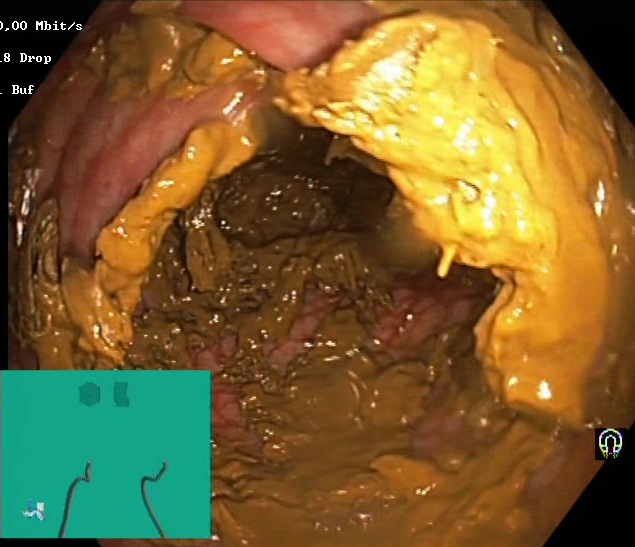Colonoscopy — BBPS score 0–1 (inadequate preparation).